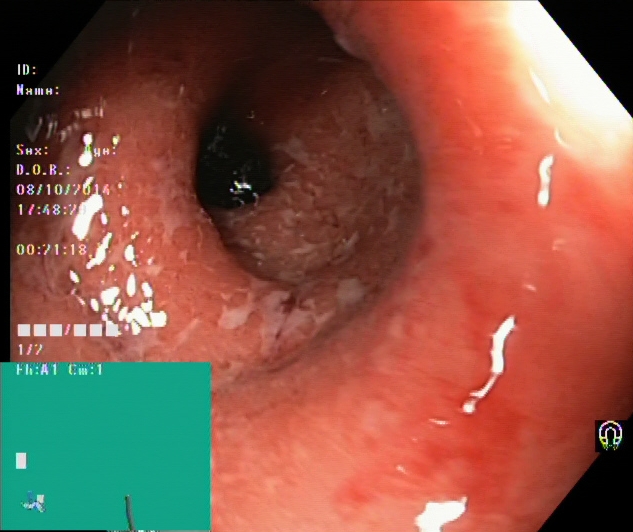modality: lower gastrointestinal endoscopy; tract: lower GI tract; finding: ulcerative colitis, Mayo endoscopic subscore 2